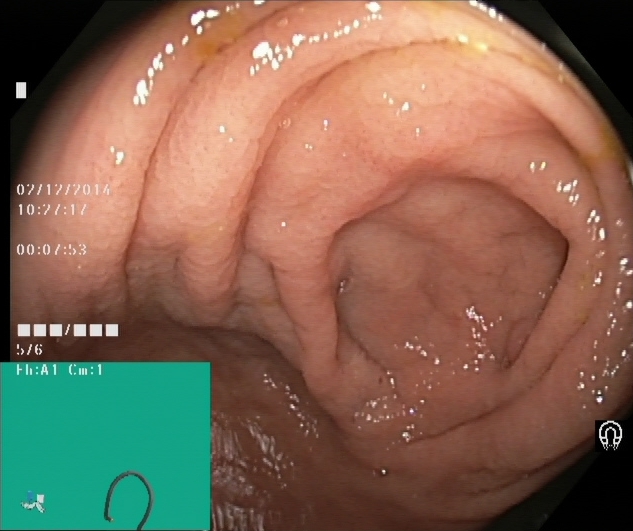Cecum.